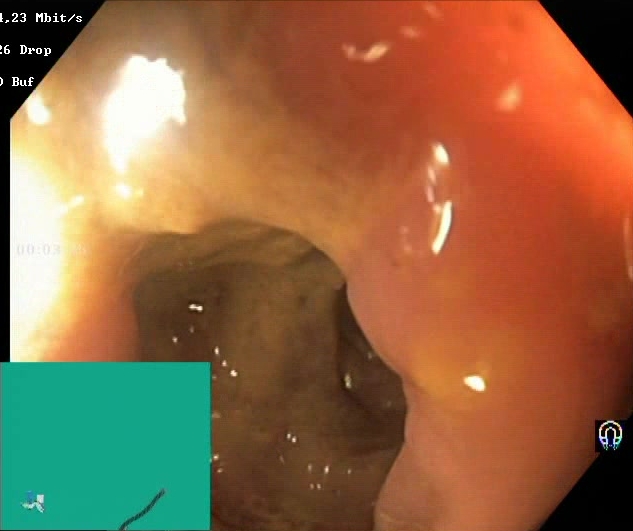BBPS score 0–1 (inadequate preparation).